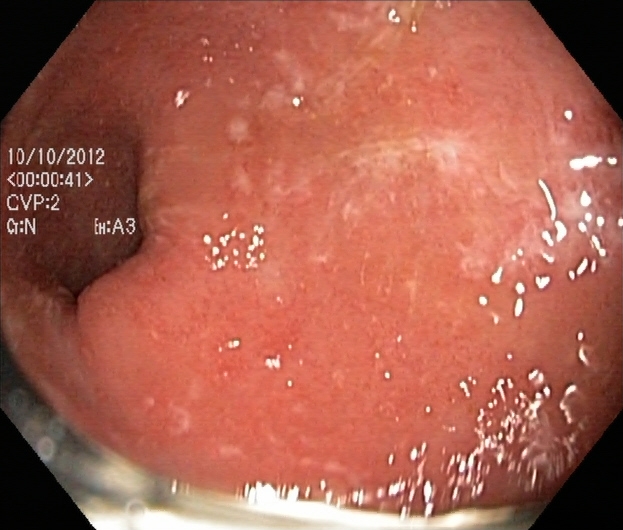Colonoscopy. Finding: ulcerative colitis, Mayo endoscopic subscore 2.